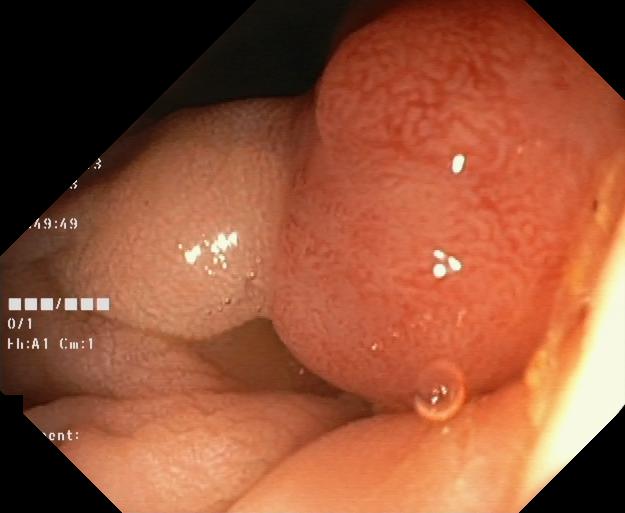Colorectal polyp(s).